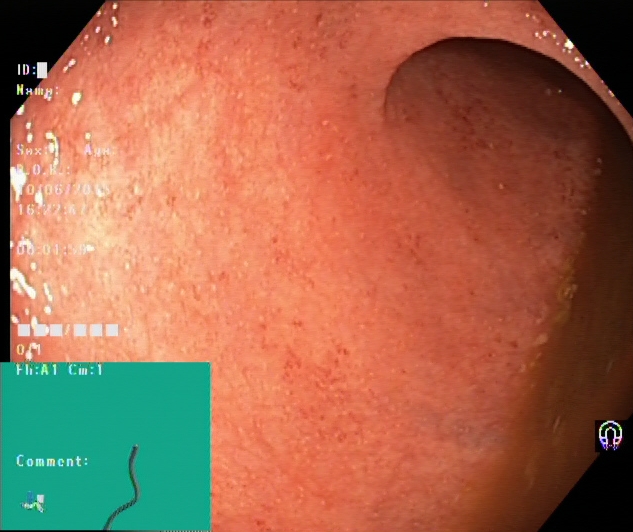{"modality": "lower gastrointestinal endoscopy", "finding": "UC, Mayo endoscopic subscore 2"}